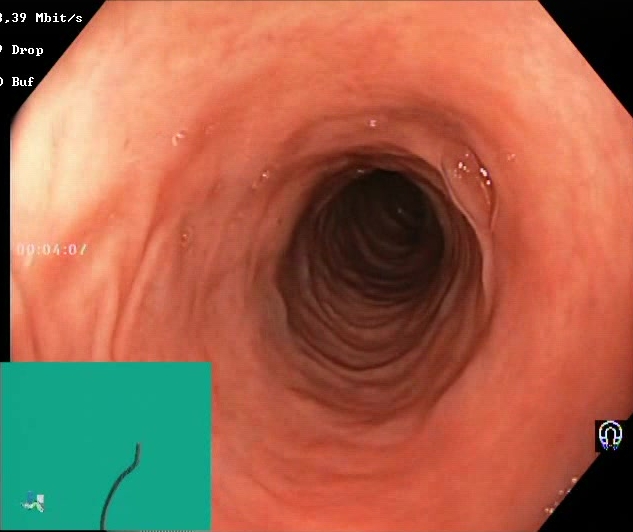Lower-GI endoscopy. Finding: Boston Bowel Preparation Scale score 2–3 (adequate preparation).